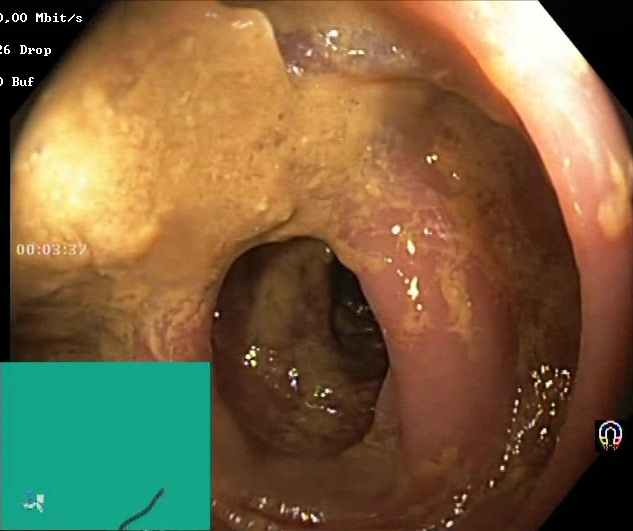This endoscopy frame of the lower GI tract shows Boston Bowel Preparation Scale score 0–1 (inadequate preparation).